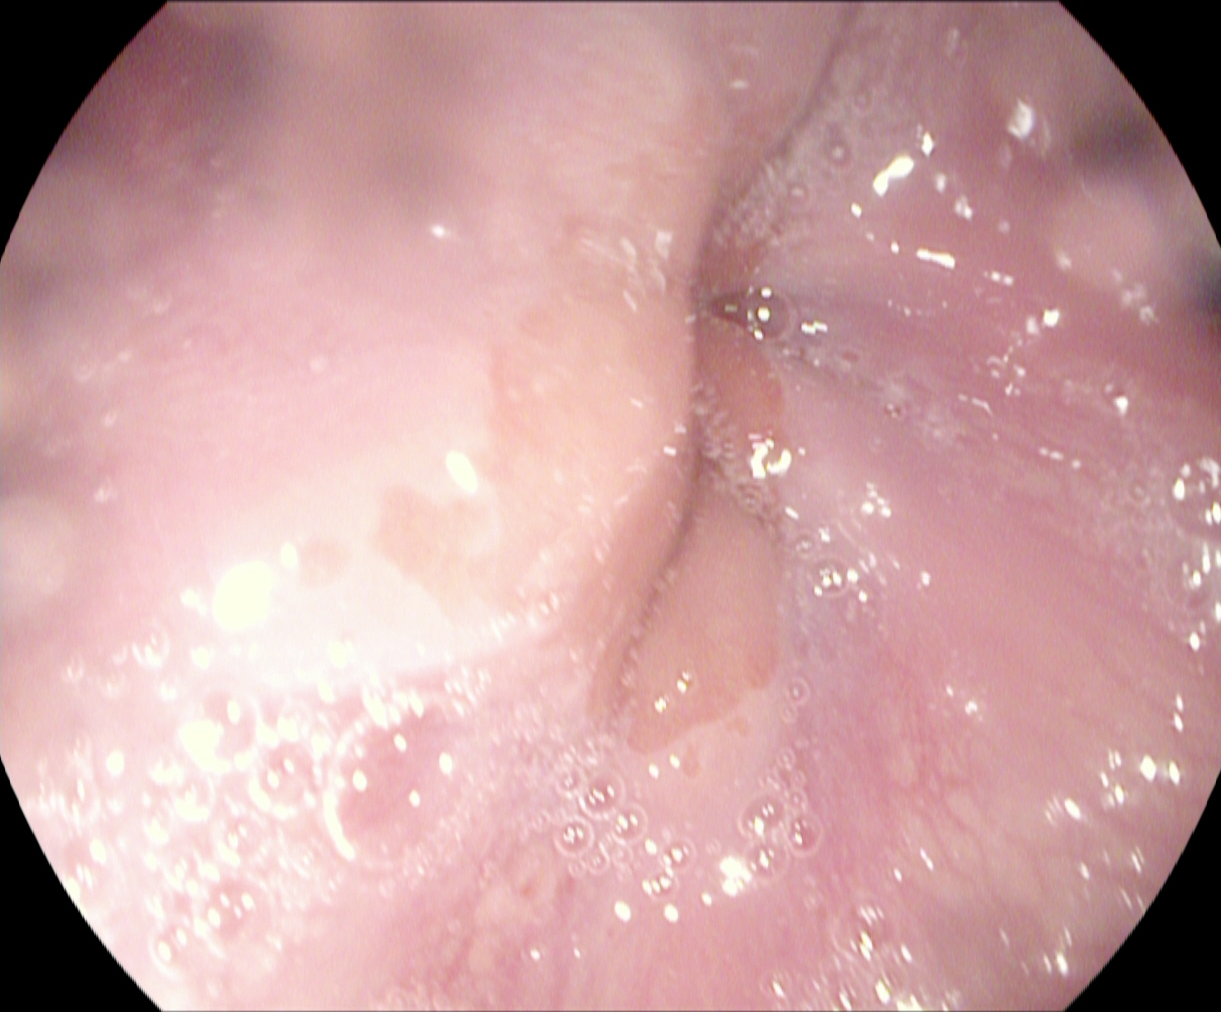Gastroscopy — Z-line (gastroesophageal junction).